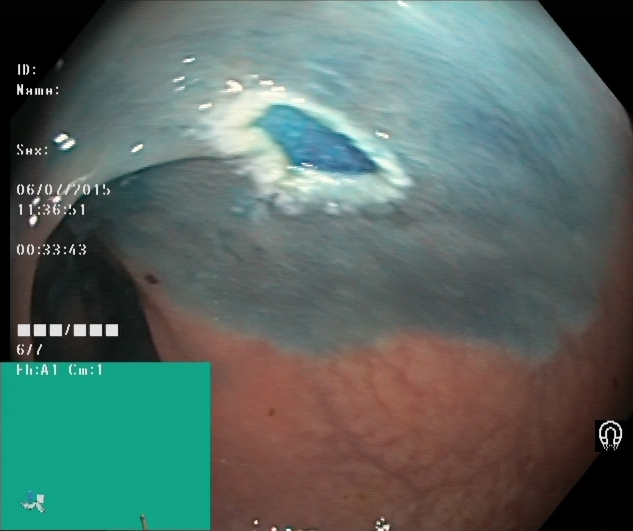This endoscopic image of the lower GI tract shows dyed resection margins (post-polypectomy).